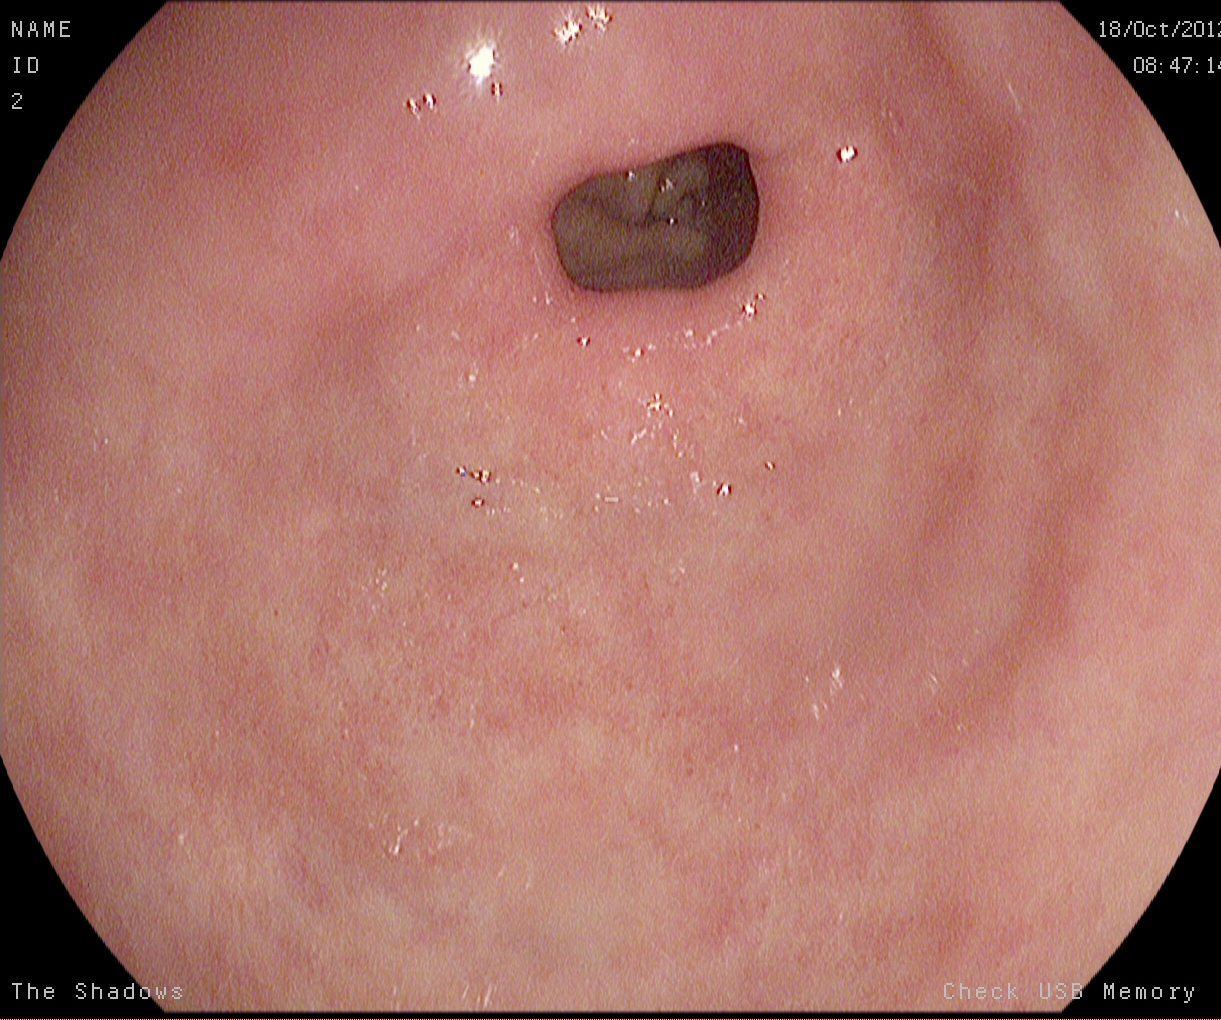This endoscopy frame of the upper GI tract shows pylorus.